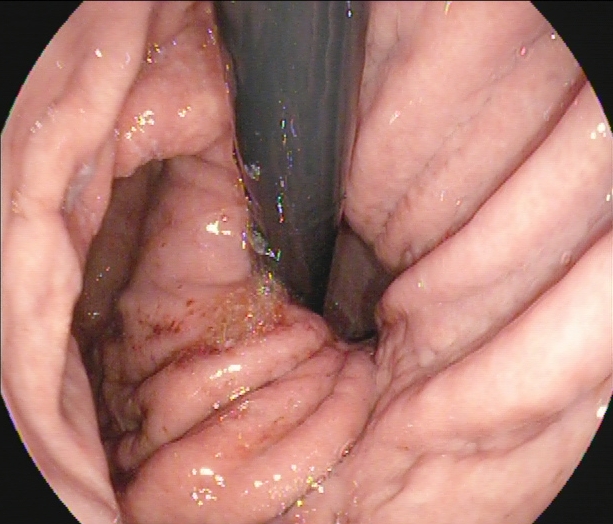GI endoscopy image of the upper GI tract showing stomach in retroflexion.